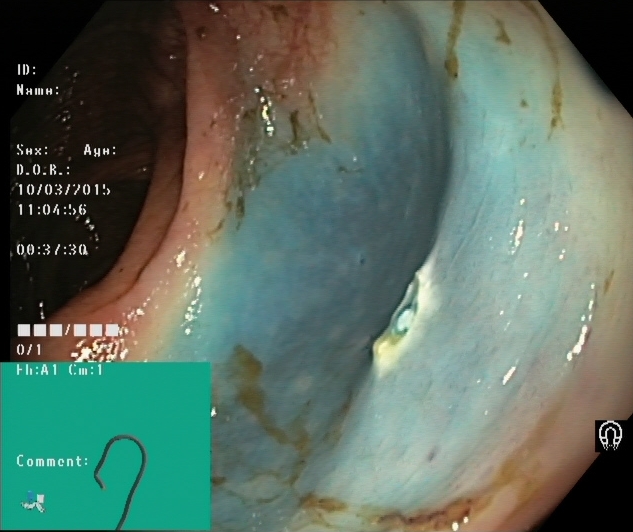Dyed resection margins (post-polypectomy).